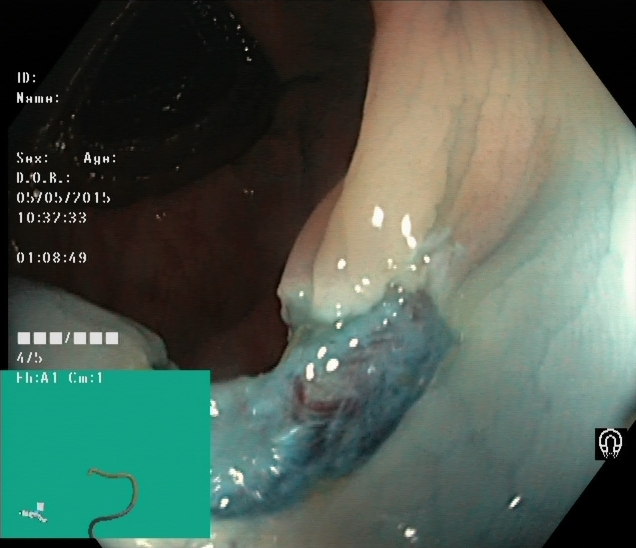Endoscopic frame showing dyed resection margins (post-polypectomy).